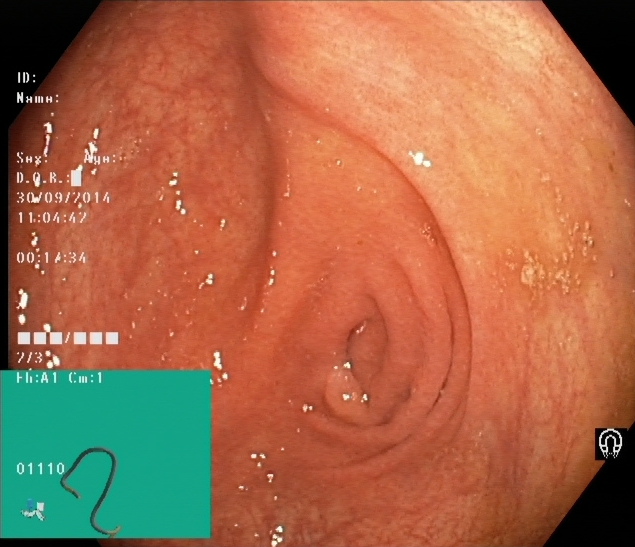{"modality": "lower-GI endoscopy", "tract": "lower GI tract", "finding": "cecum"}